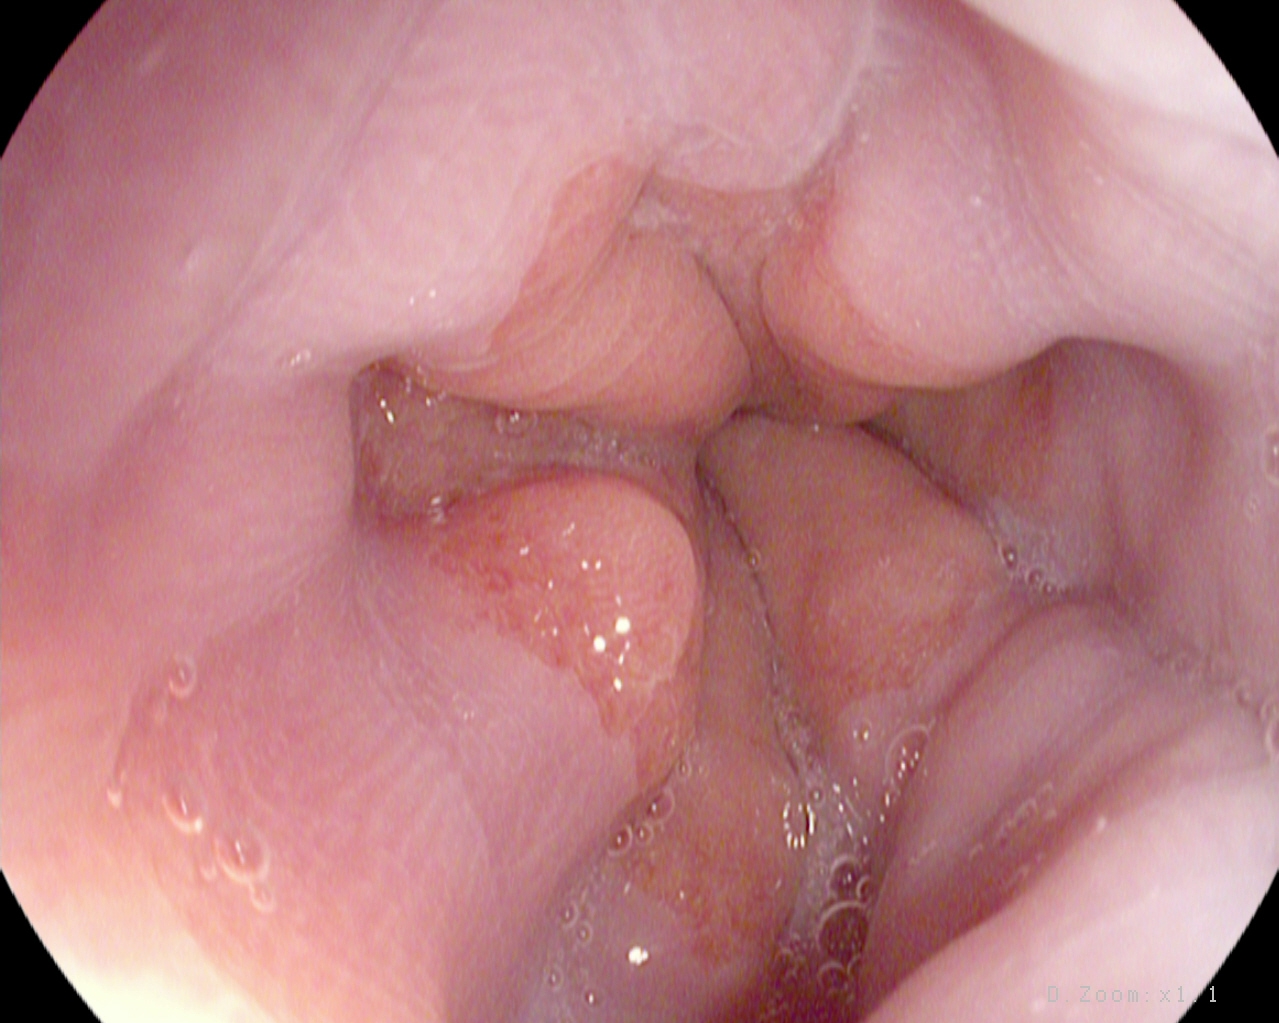{"modality": "upper-GI endoscopy", "tract": "upper GI tract", "category": "anatomical landmark", "finding": "Z-line (gastroesophageal junction)"}